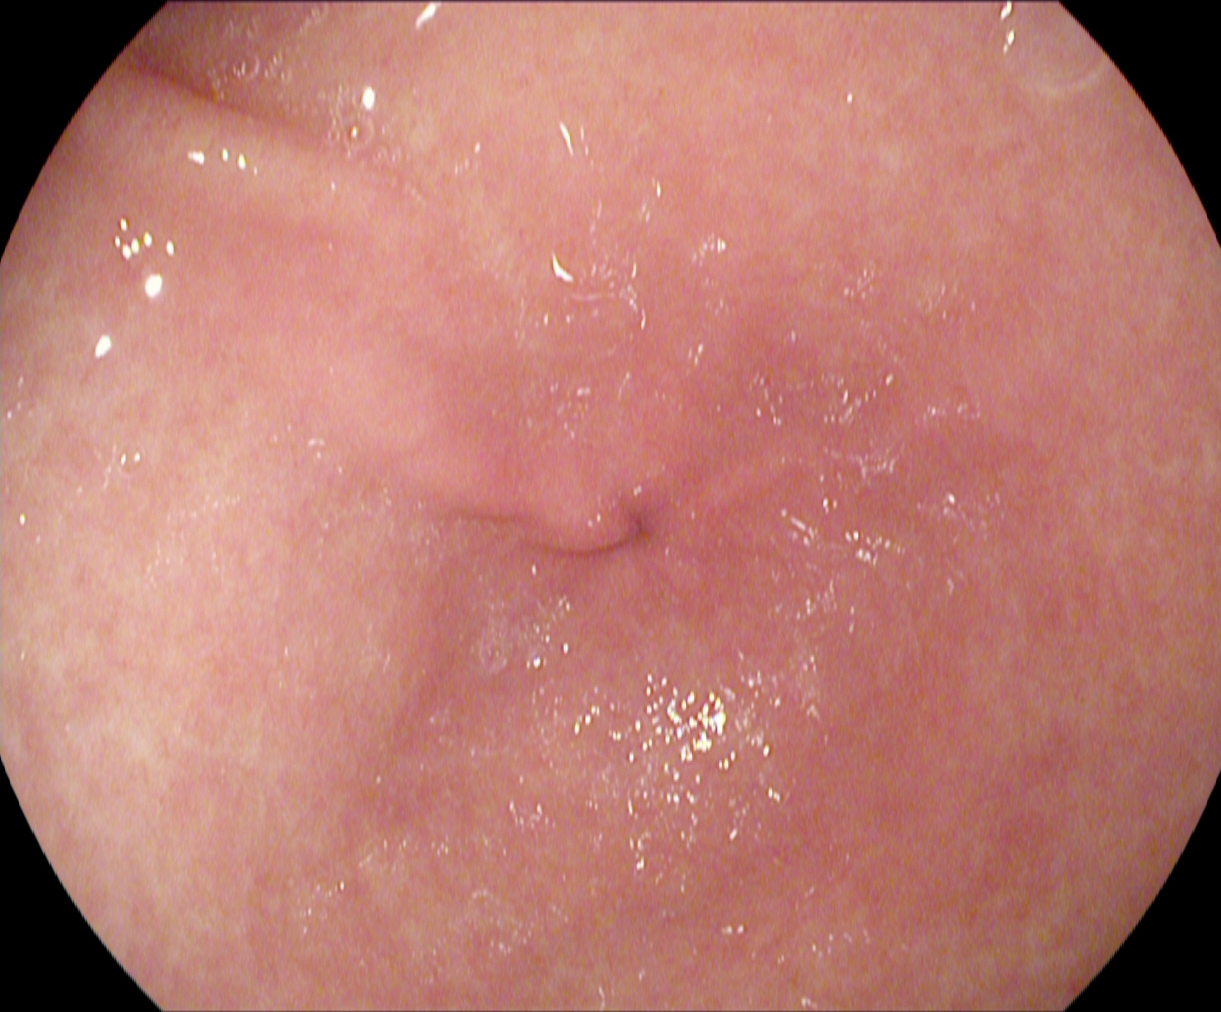{"modality": "esophagogastroduodenoscopy", "tract": "upper GI tract", "finding": "pylorus"}